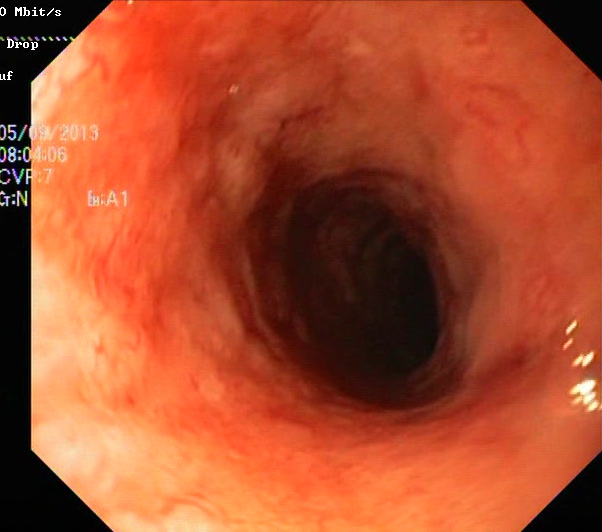This endoscopy frame shows ulcerative colitis, Mayo endoscopic subscore 2.